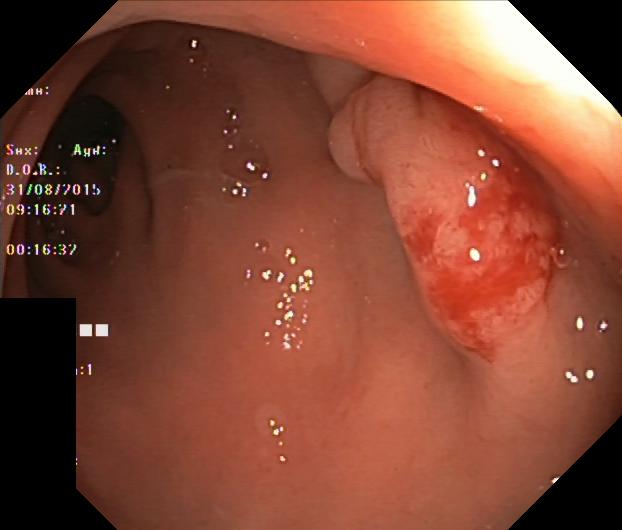This endoscopy frame of the lower GI tract shows colorectal polyp(s).